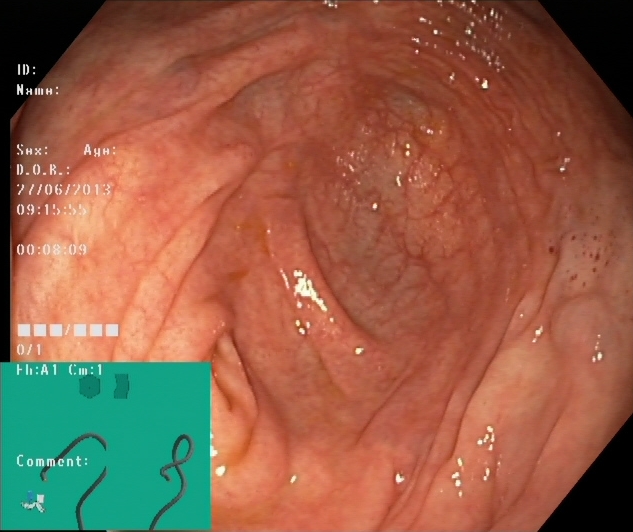{"modality": "lower gastrointestinal endoscopy", "tract": "lower GI tract", "finding": "cecum"}